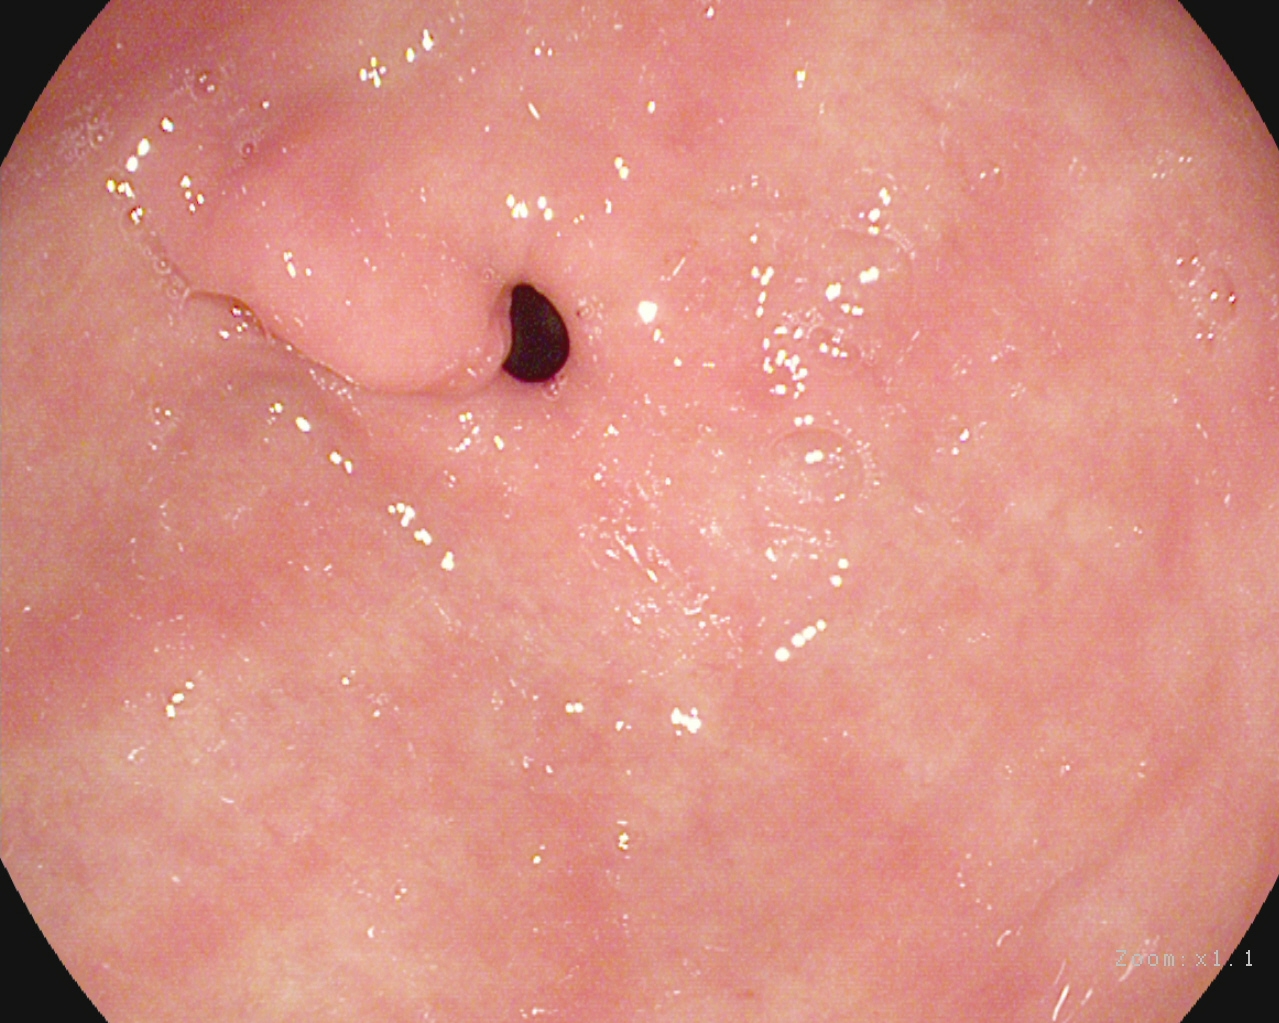Pylorus.